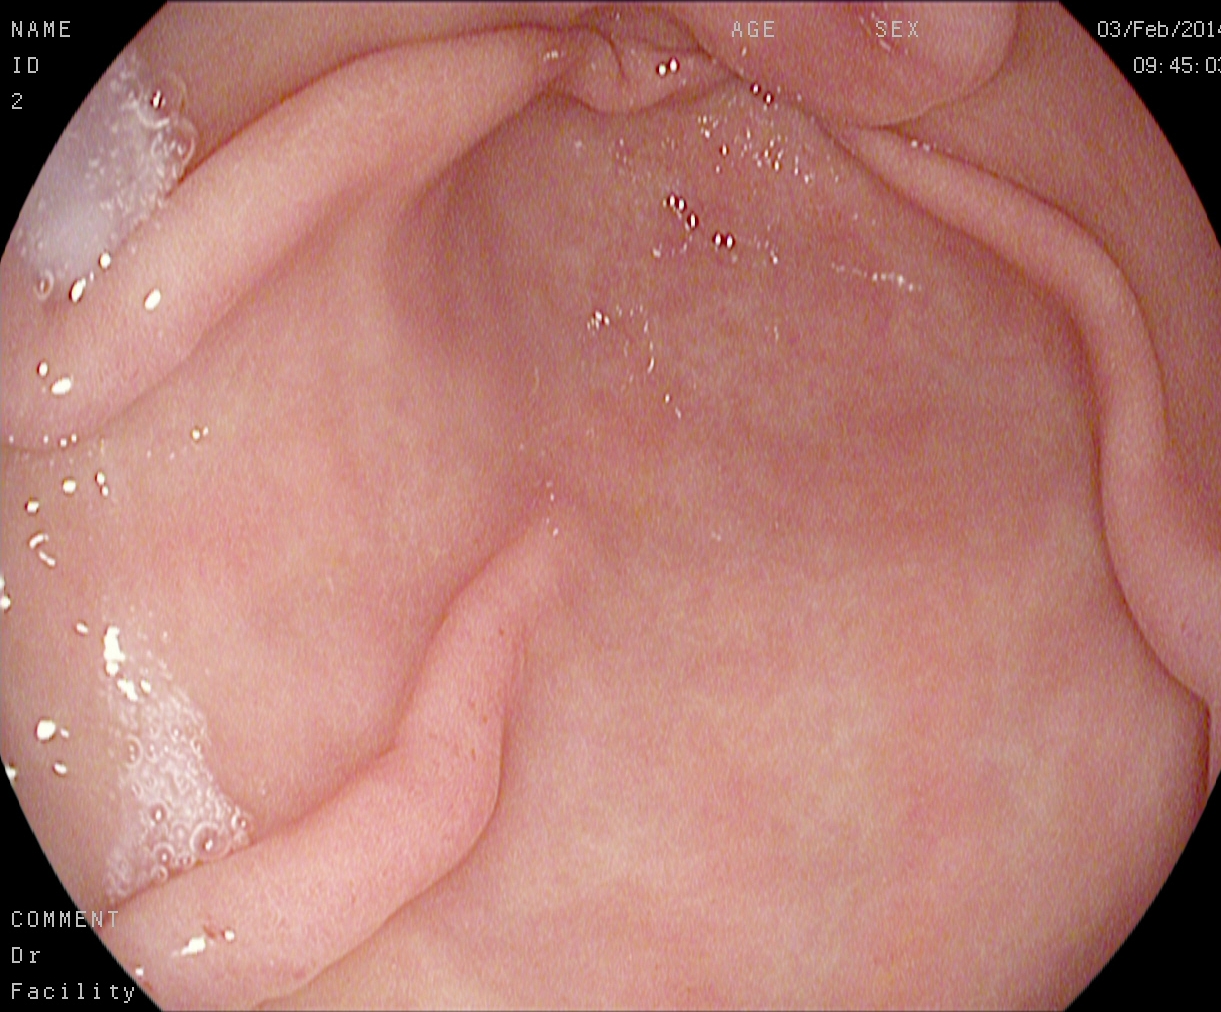pylorus.